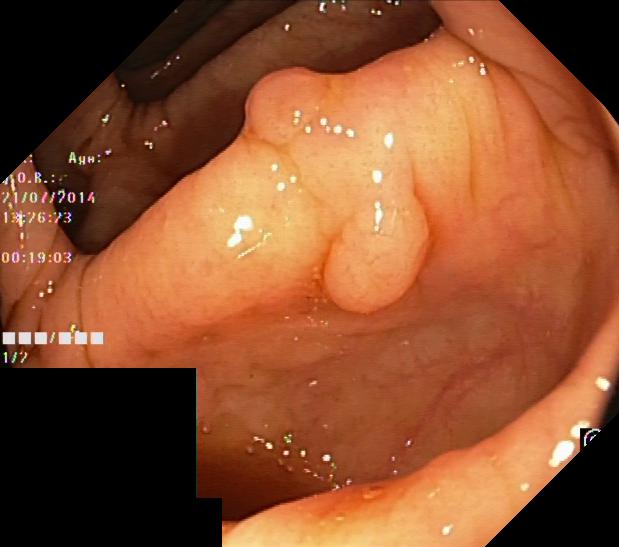Gastrointestinal endoscopy image showing colorectal polyp(s).